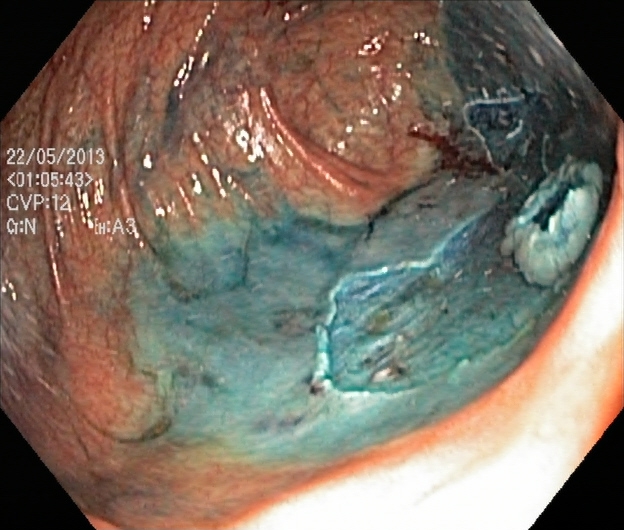This endoscopic image shows dyed resection margins (post-polypectomy).